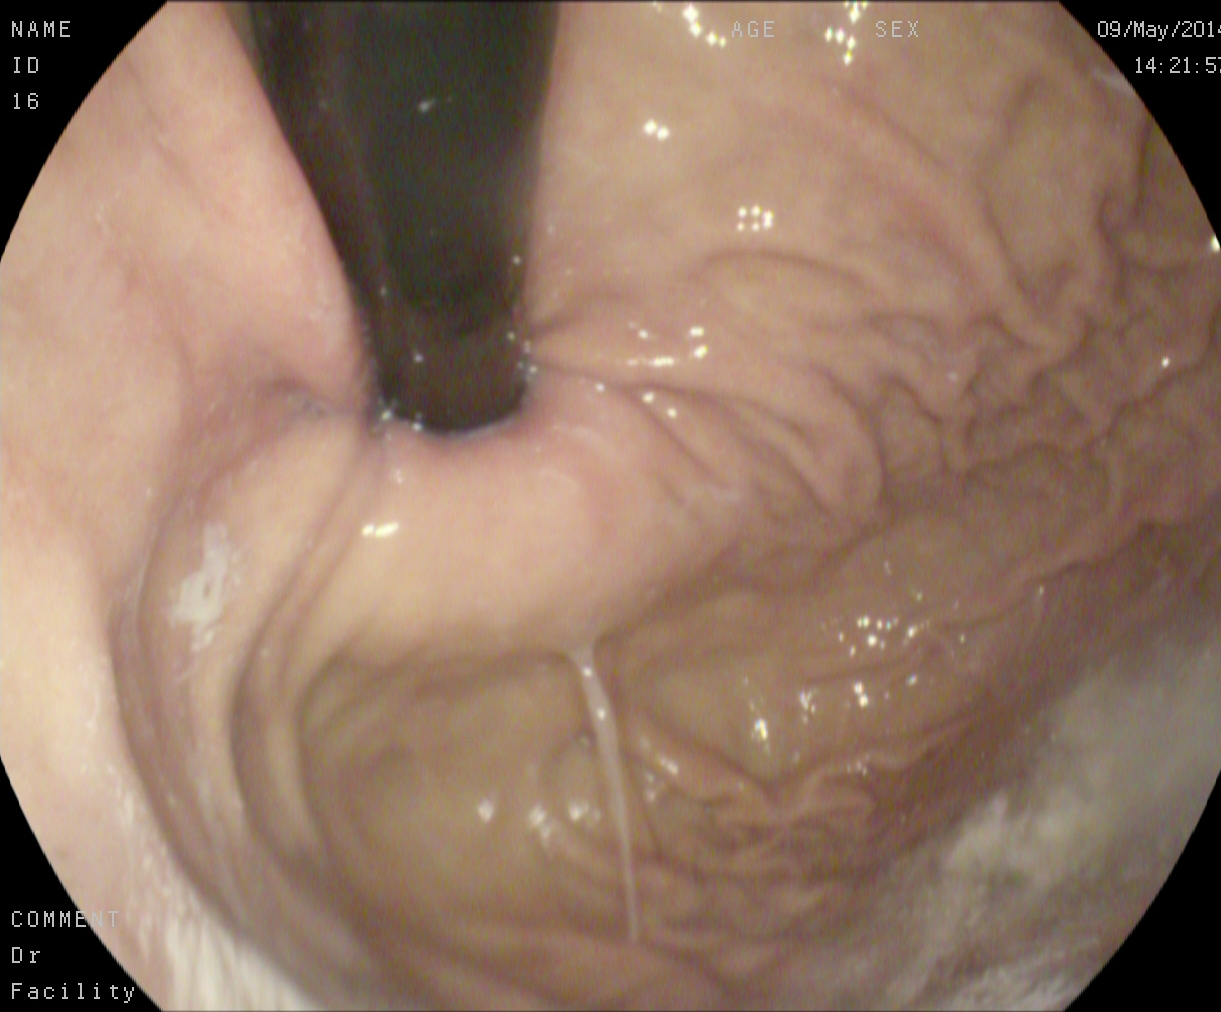This endoscopic image of the upper GI tract shows stomach in retroflexion.